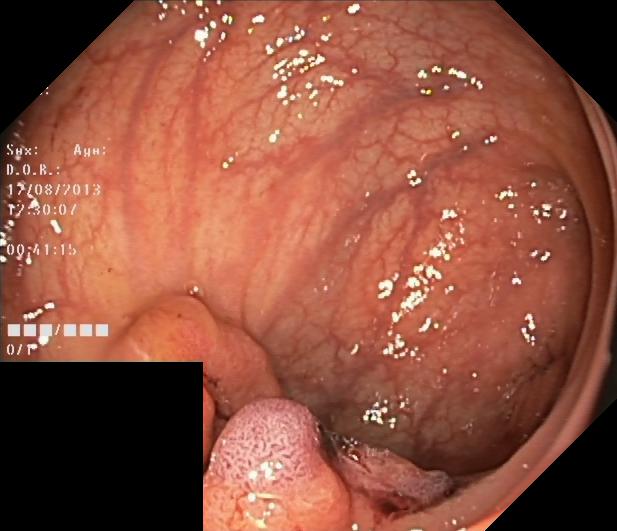PROCEDURE: Colonoscopy.
CATEGORY: Pathological finding.
FINDINGS: Colorectal polyp(s).